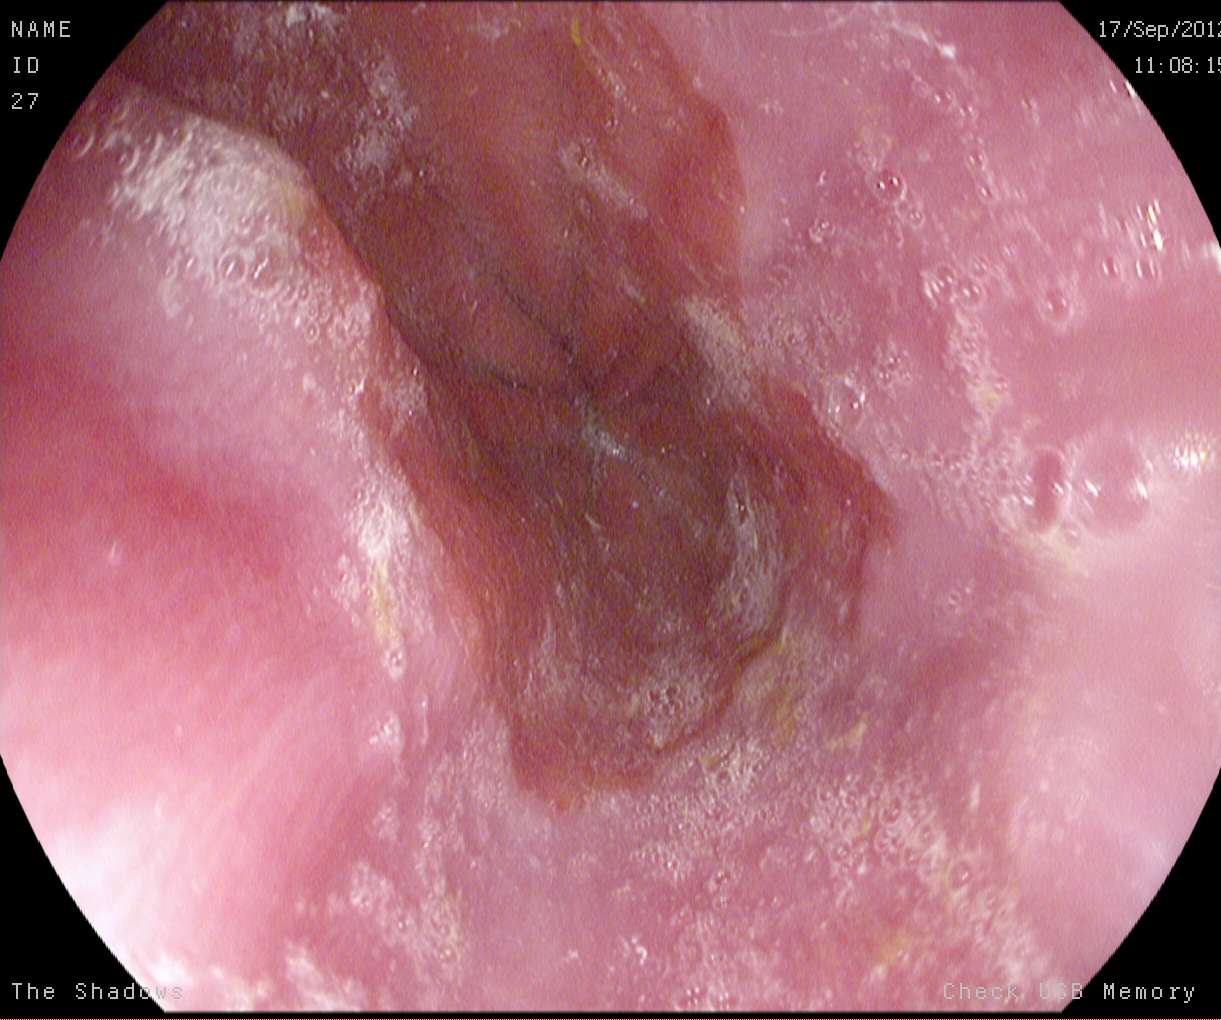PROCEDURE: EGD.
CATEGORY: Anatomical landmark.
FINDINGS: Z-line (gastroesophageal junction).